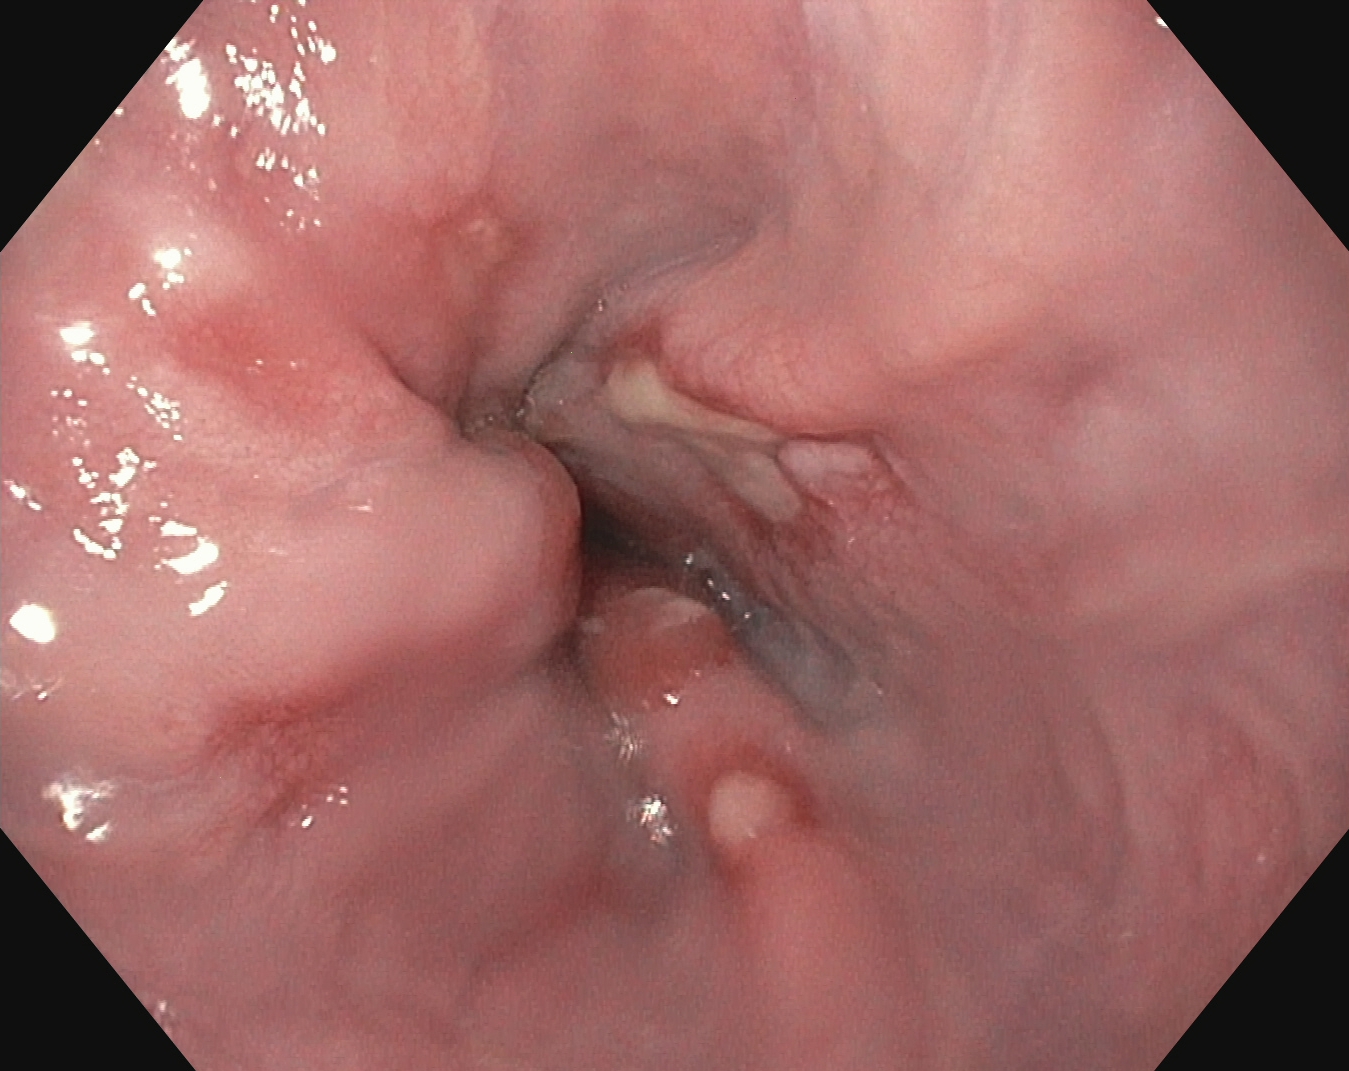Gastroscopy. Tract: upper GI tract. Finding: reflux esophagitis, LA grade B–D.